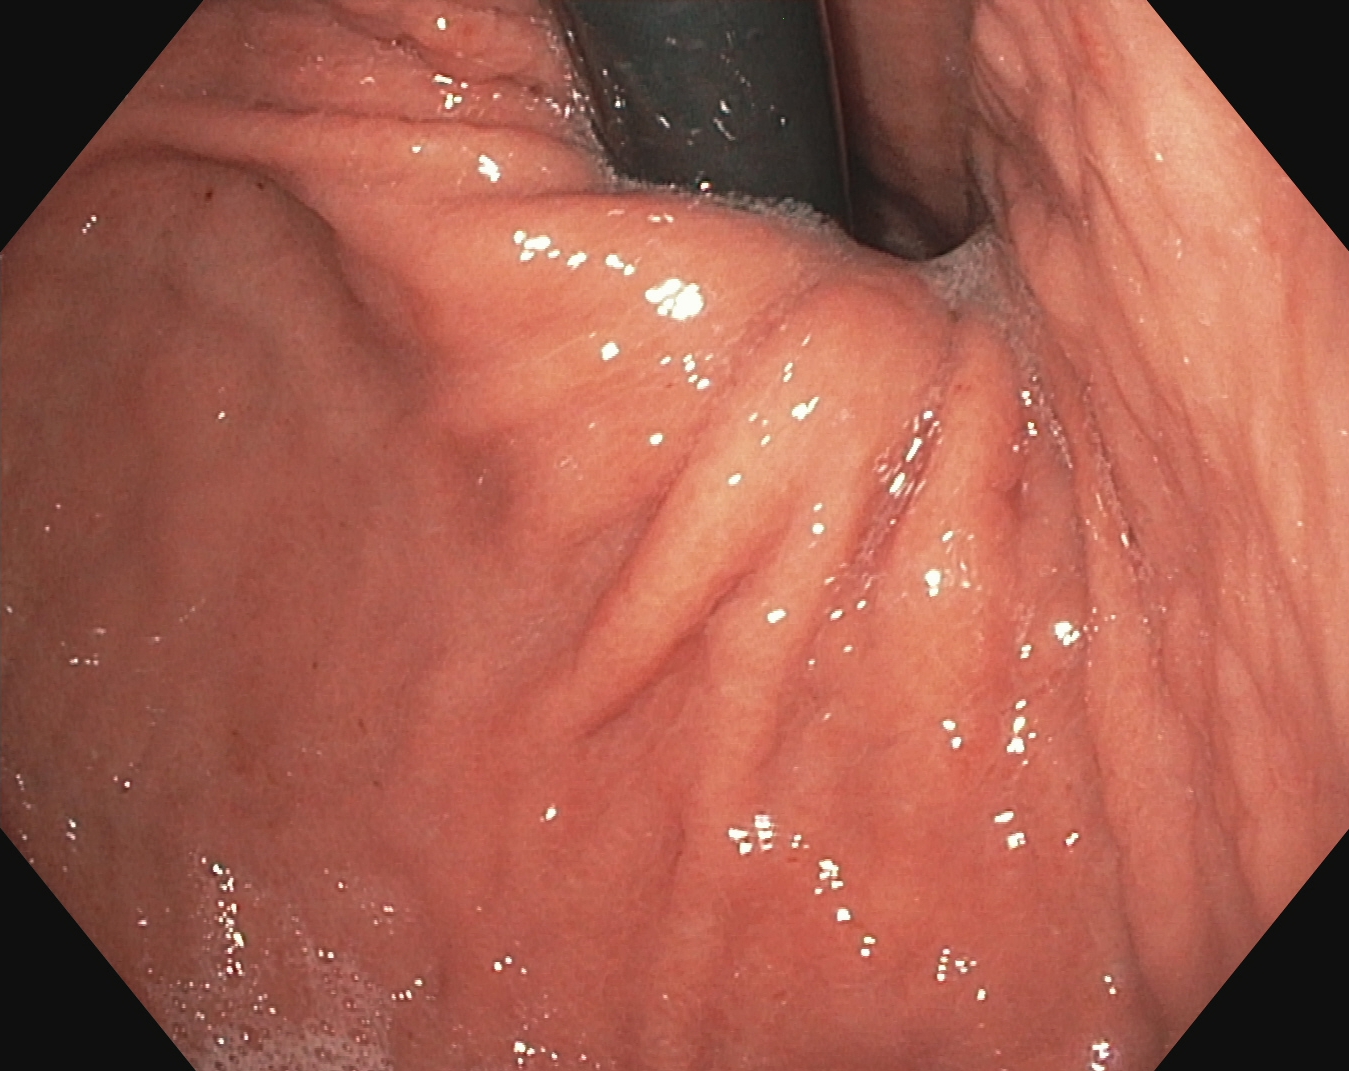{"modality": "EGD", "tract": "upper GI tract", "category": "anatomical landmark", "finding": "stomach in retroflexion"}